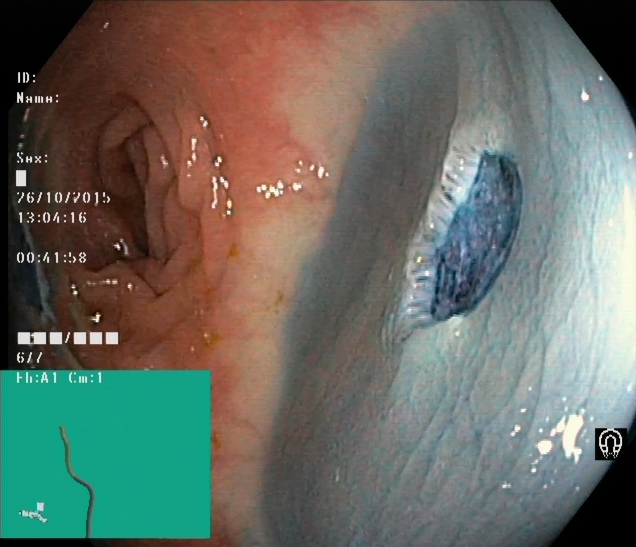modality: colonoscopy | tract: lower GI tract | category: therapeutic intervention | finding: dyed resection margins (post-polypectomy)